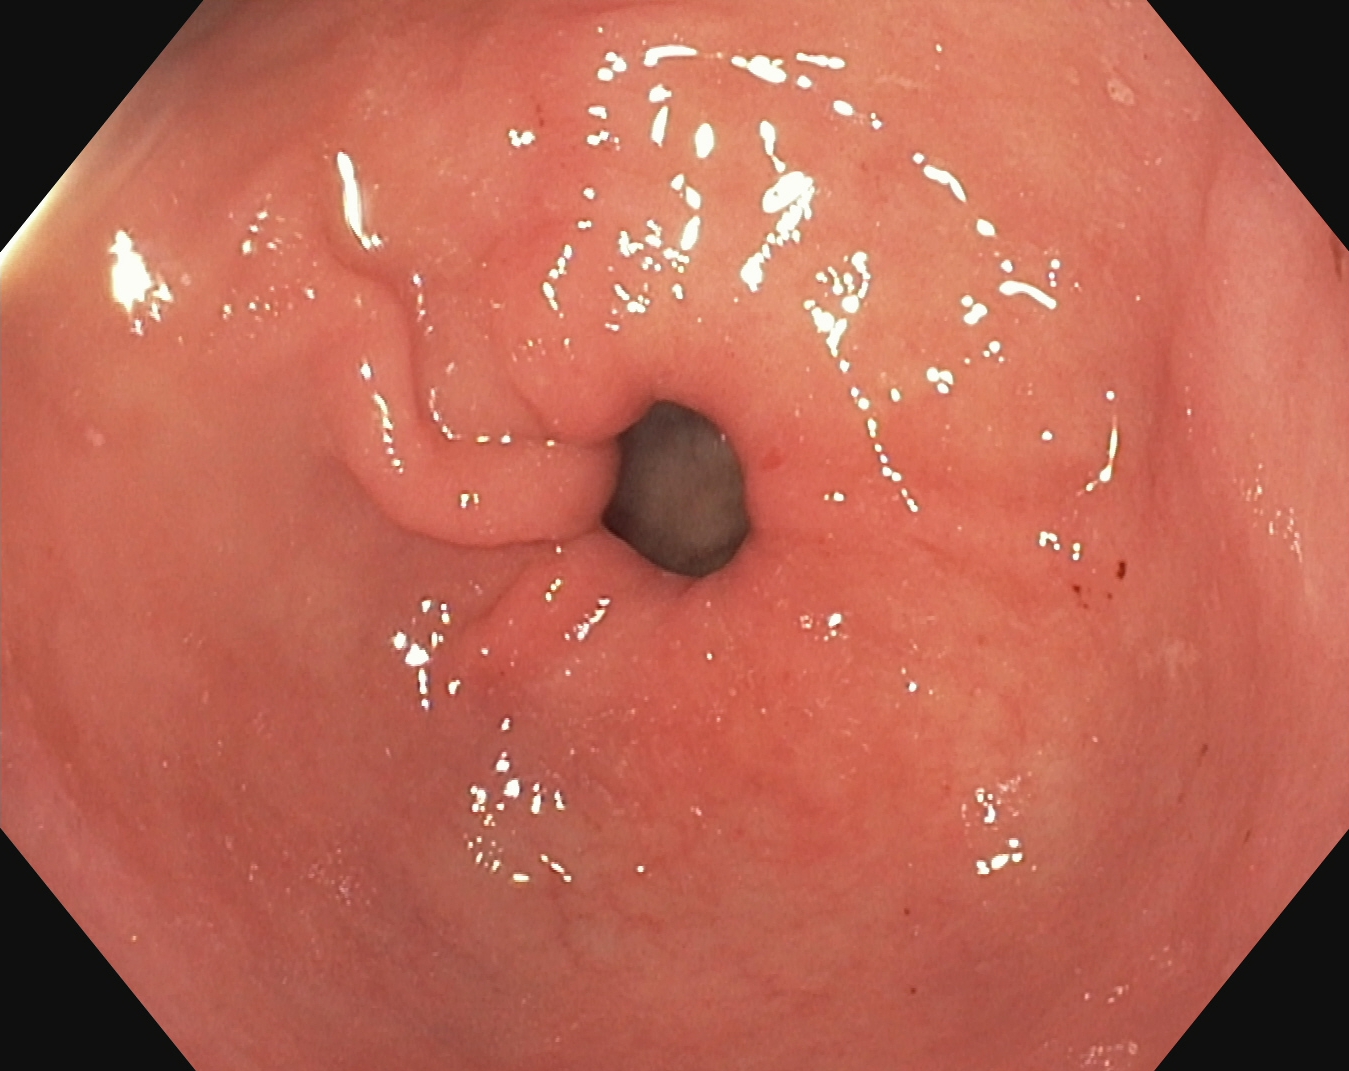Endoscopy image of the upper GI tract showing pylorus.